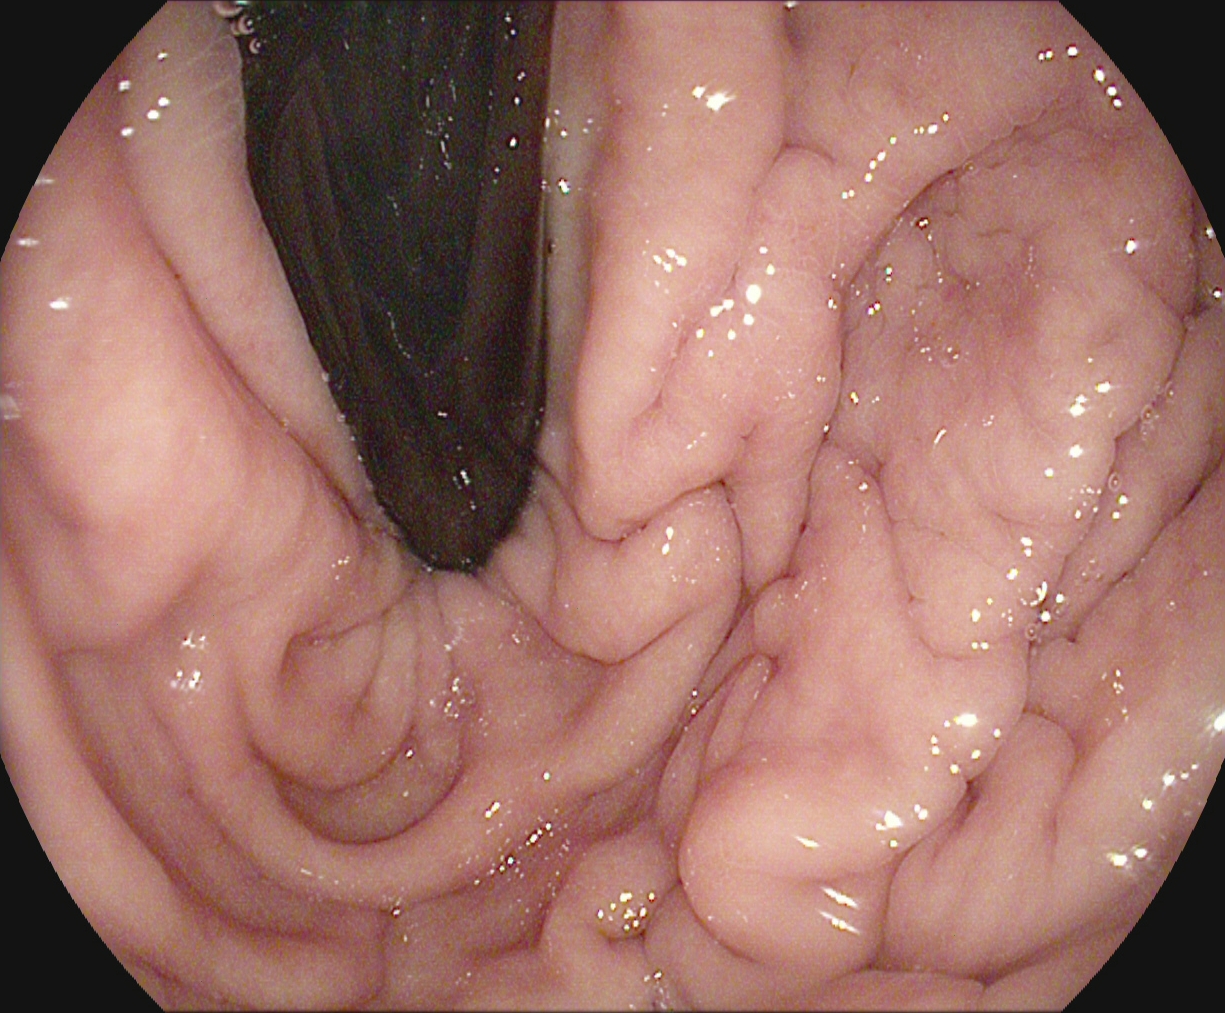Stomach in retroflexion.